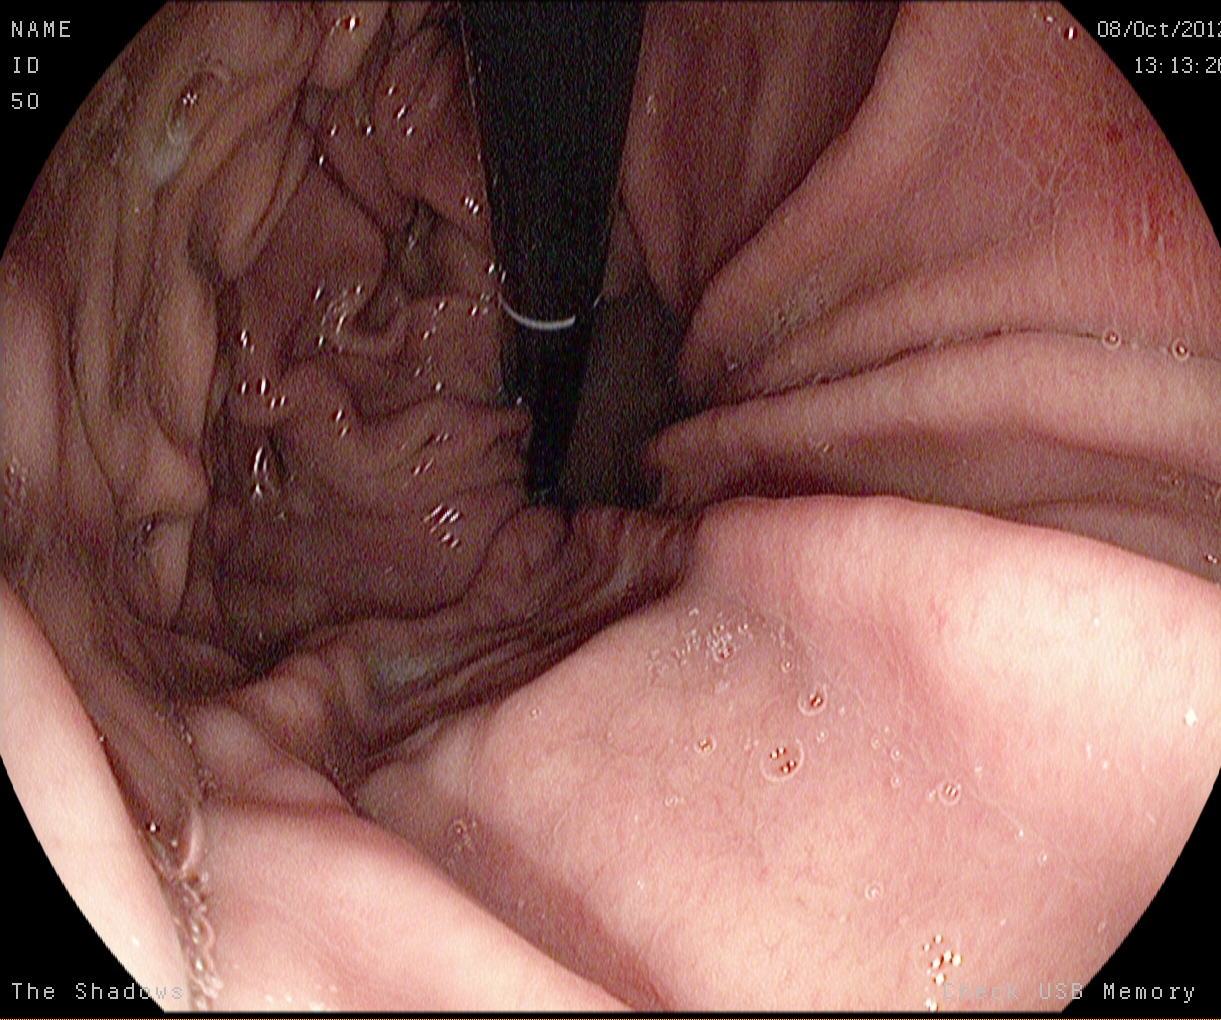Upper-GI endoscopy — stomach in retroflexion.